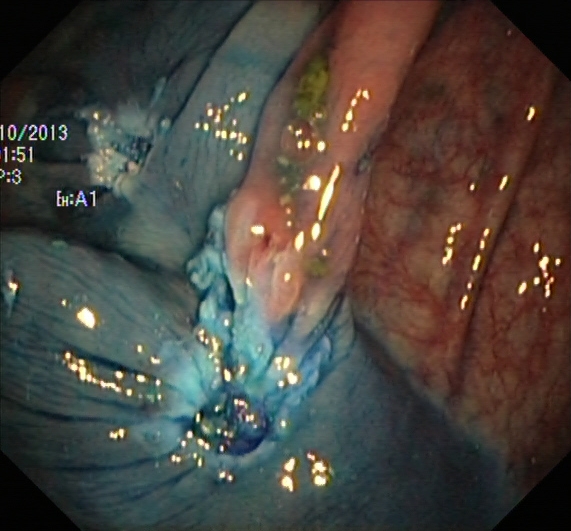dyed resection margins (post-polypectomy).